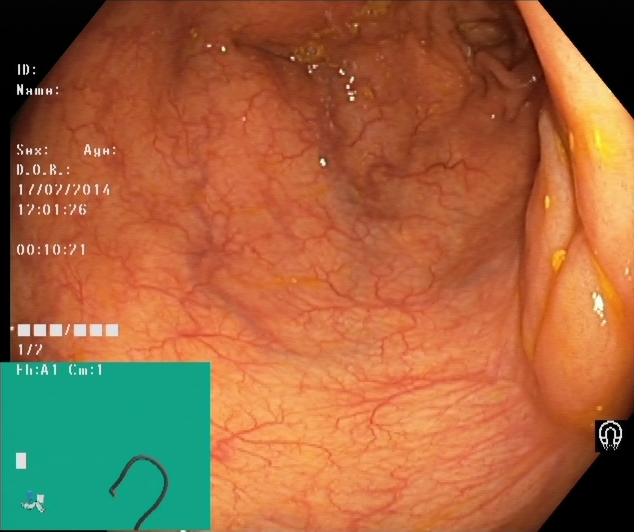modality: lower-GI endoscopy; category: anatomical landmark; finding: cecum